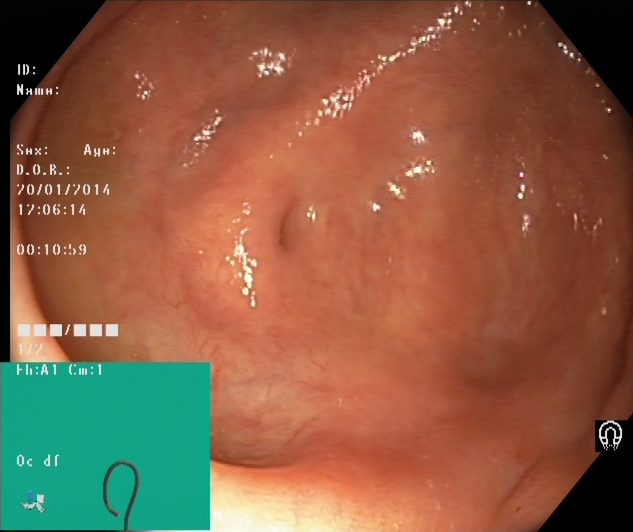PROCEDURE: Lower gastrointestinal endoscopy.
CATEGORY: Anatomical landmark.
FINDINGS: Cecum.